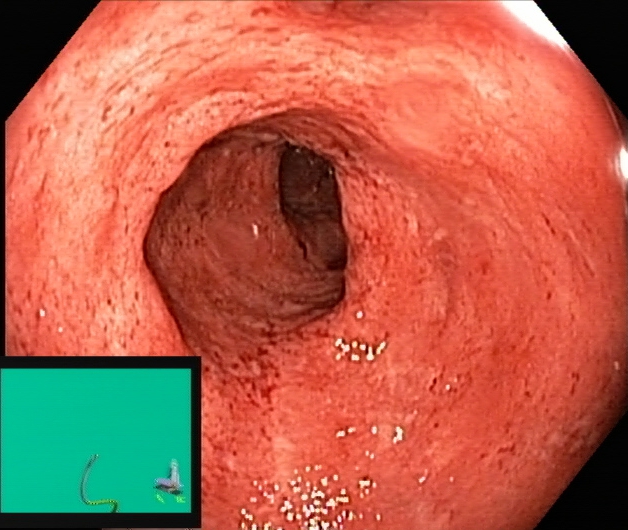UC, Mayo endoscopic subscore 2.